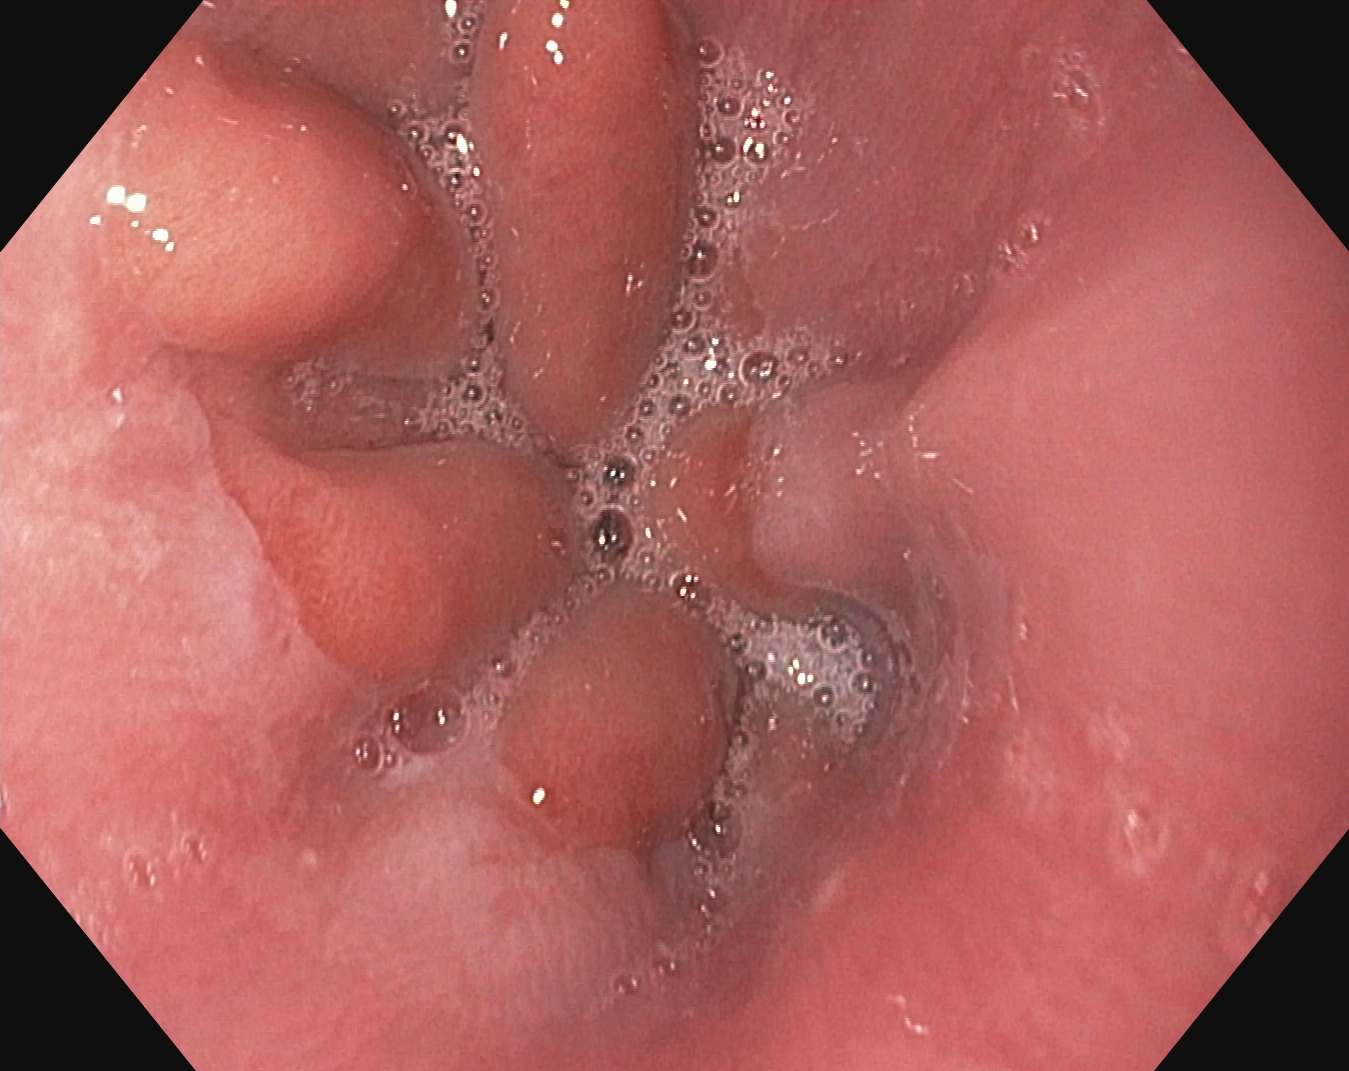PROCEDURE: Esophagogastroduodenoscopy.
CATEGORY: Anatomical landmark.
FINDINGS: Z-line (gastroesophageal junction).